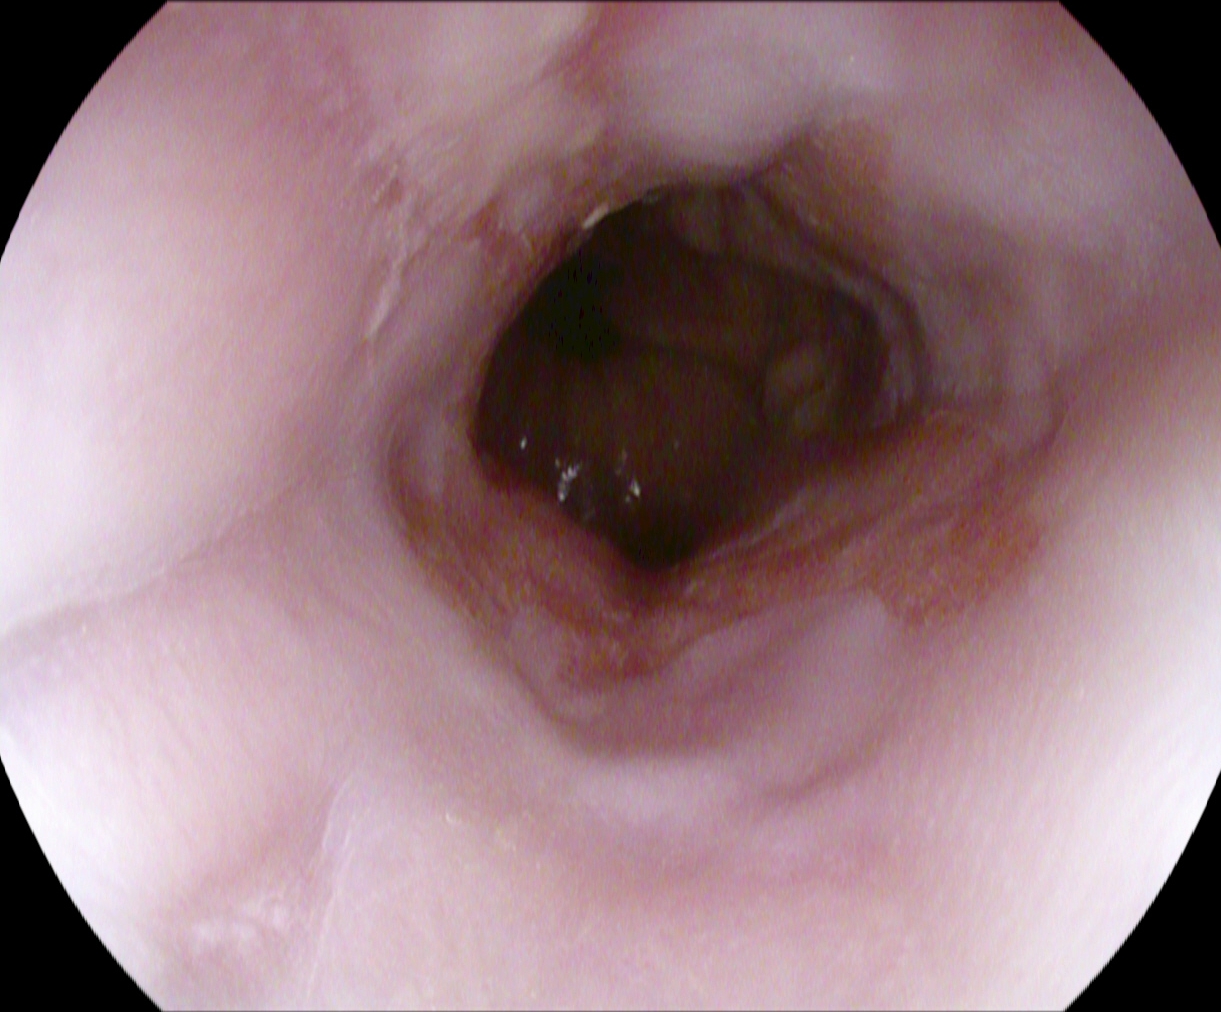GI endoscopy image of the upper GI tract showing reflux esophagitis, Los Angeles grade B–D.